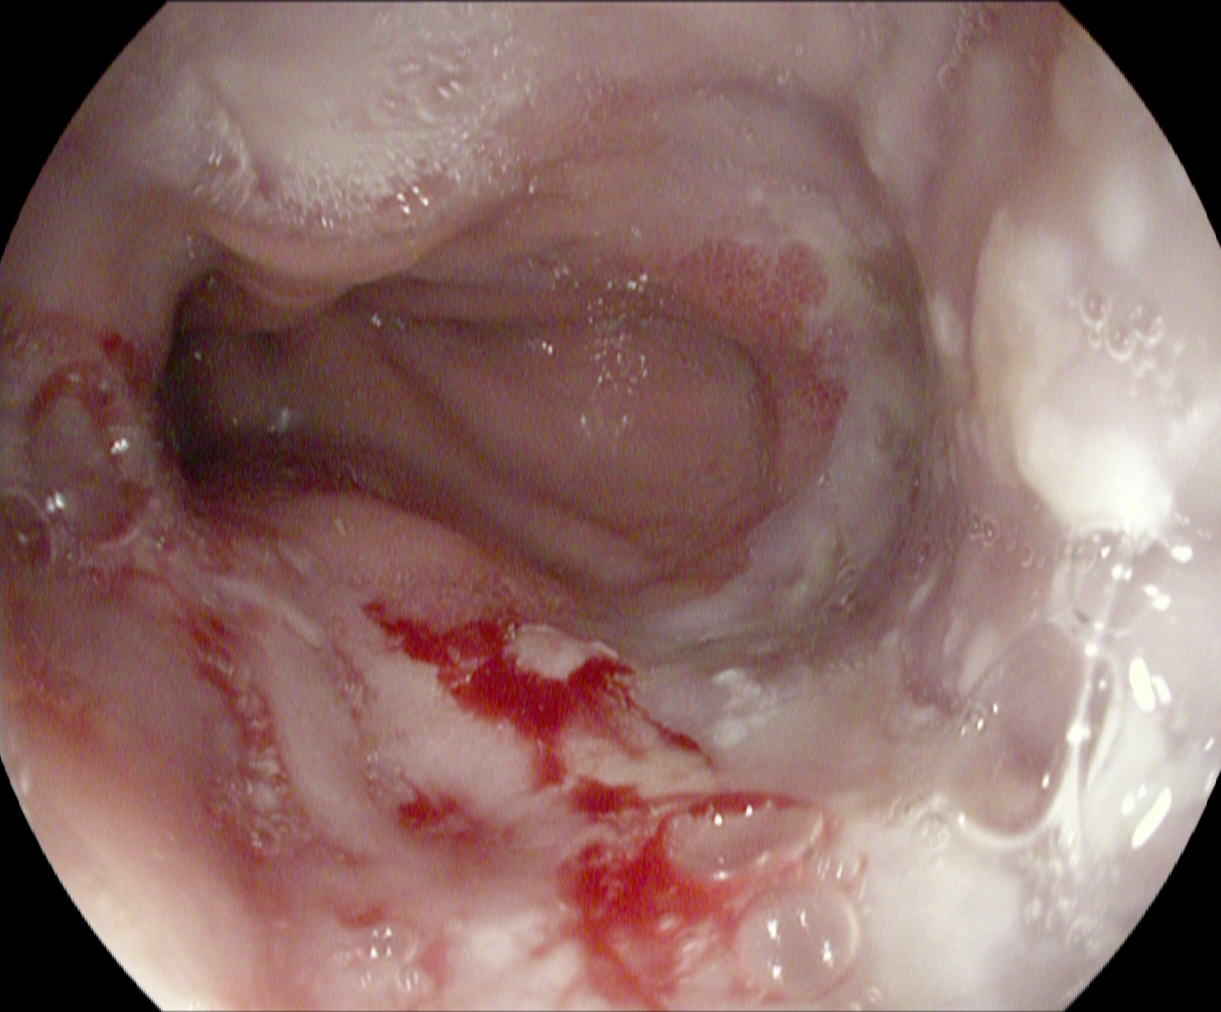modality: EGD | finding: reflux esophagitis, Los Angeles grade B–D